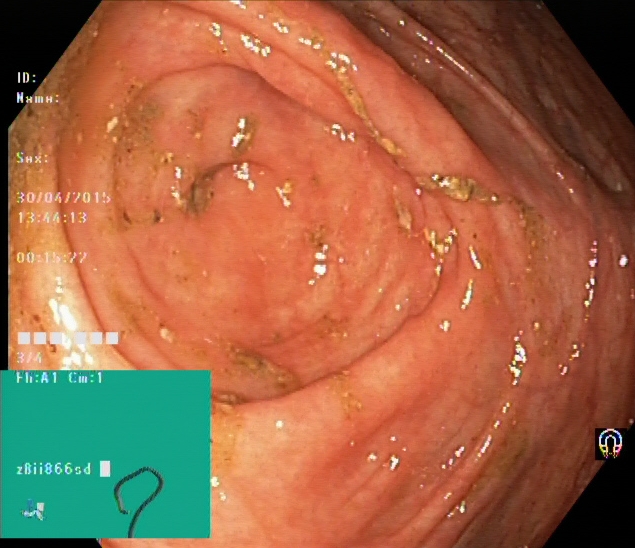{"modality": "lower-GI endoscopy", "tract": "lower GI tract", "finding": "cecum"}